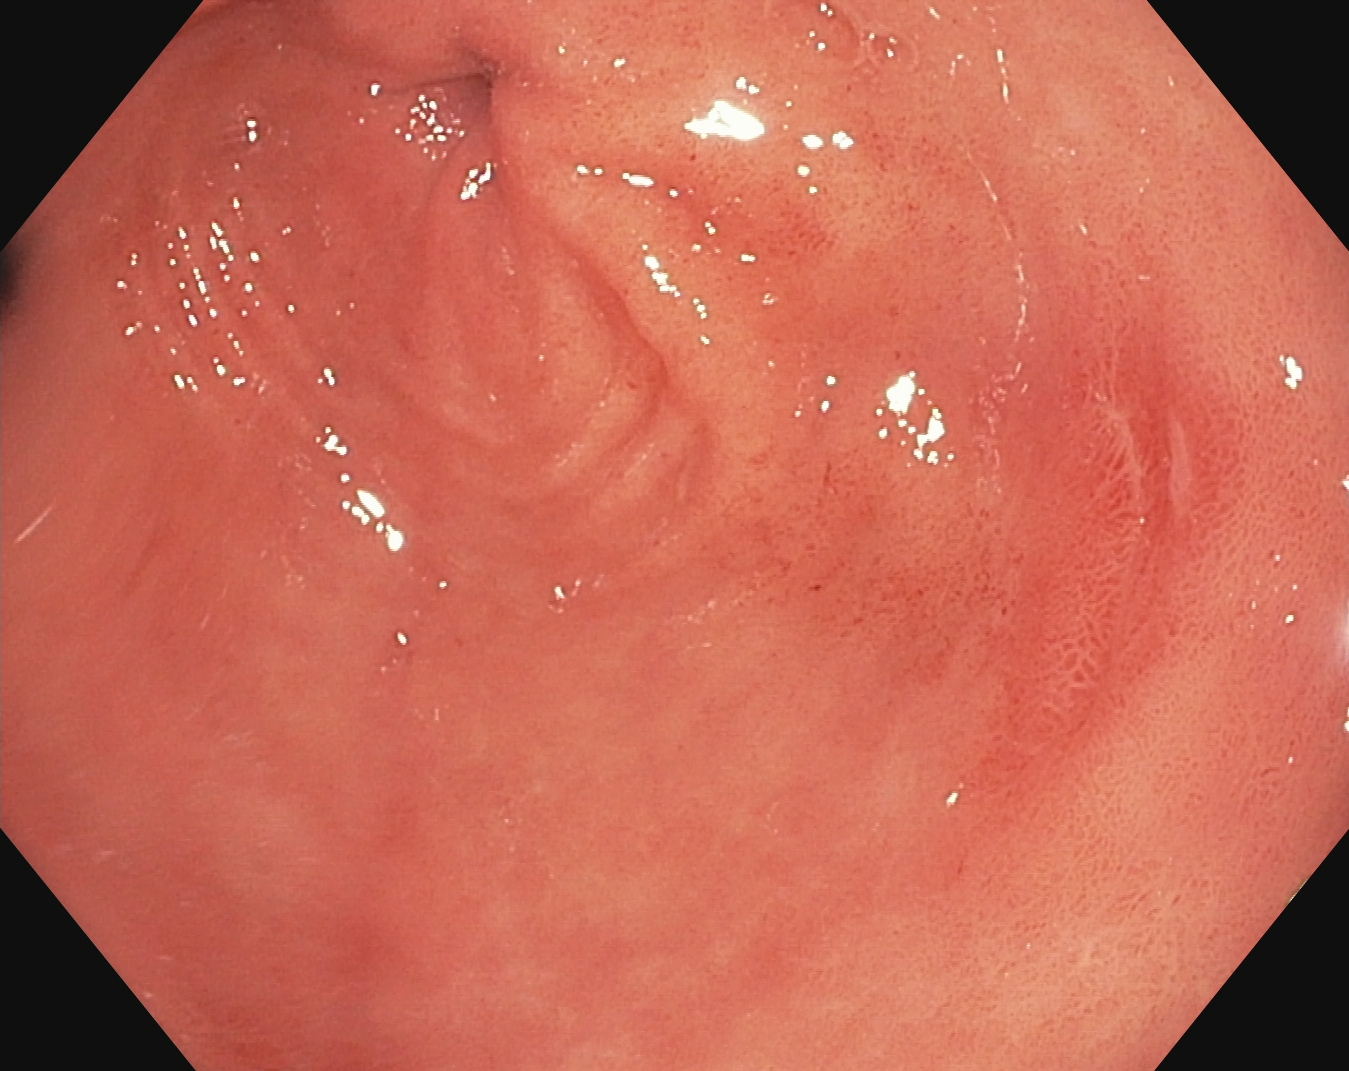Esophagogastroduodenoscopy — pylorus.